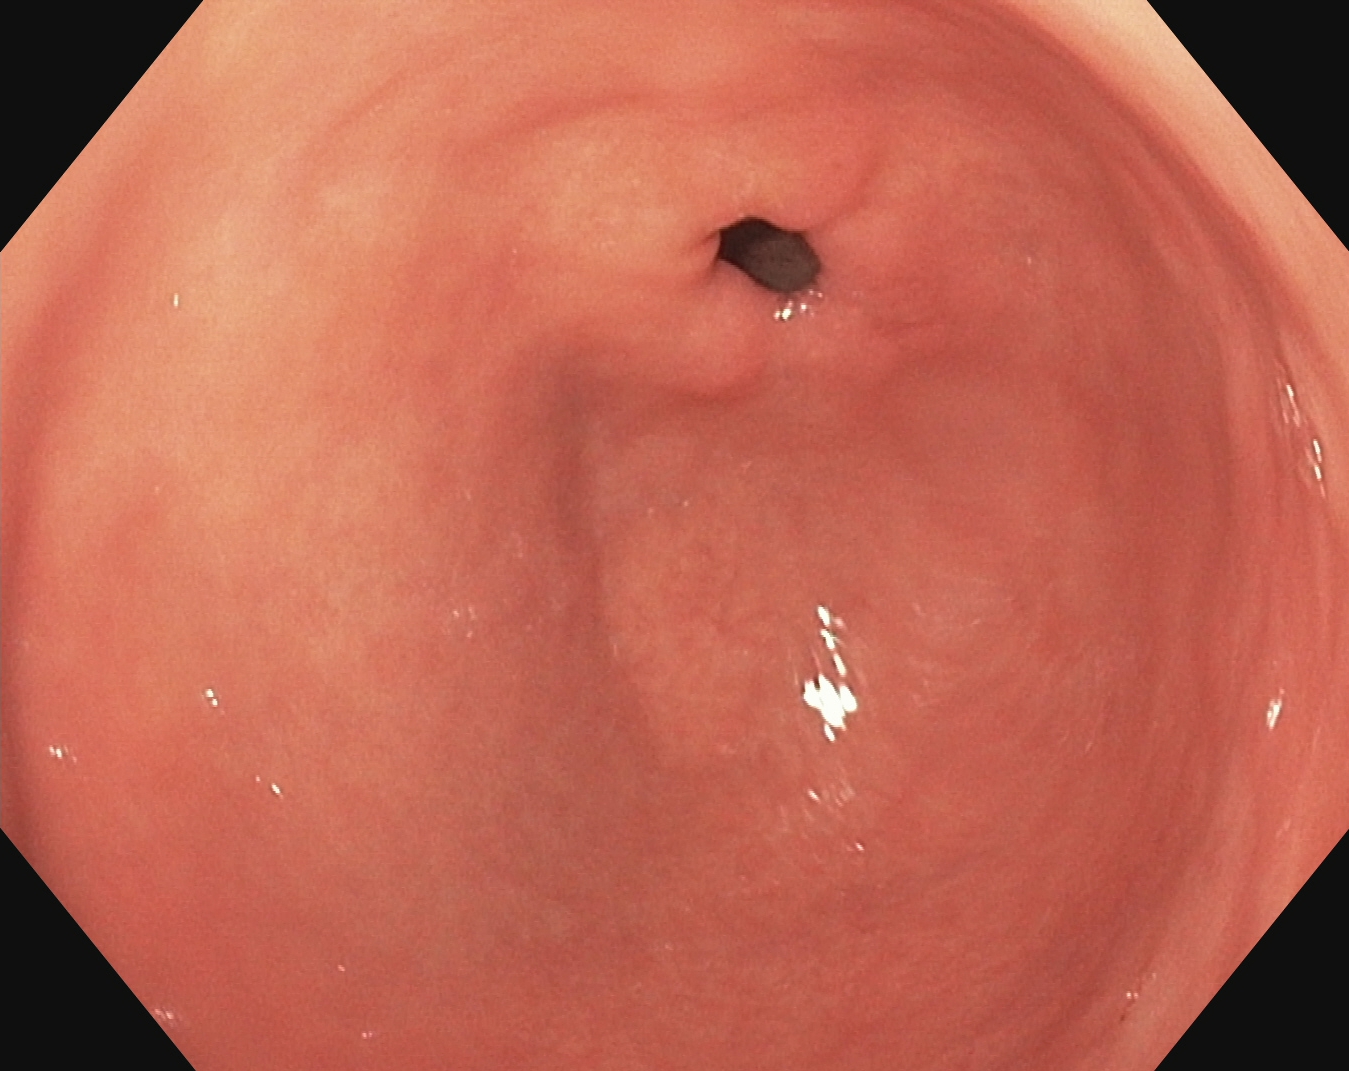PROCEDURE: Upper-GI endoscopy.
CATEGORY: Anatomical landmark.
FINDINGS: Pylorus.